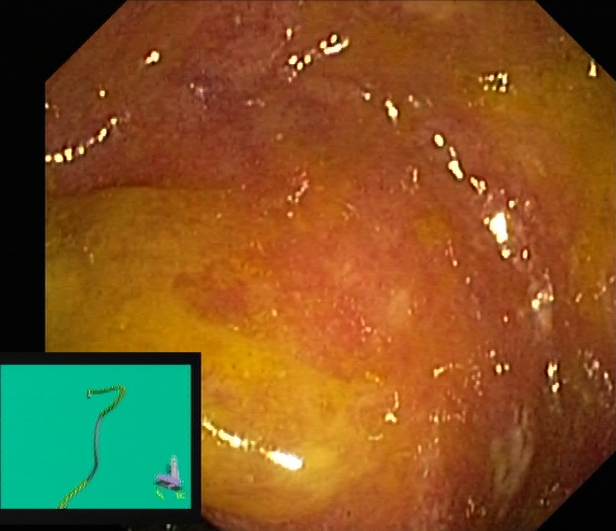This endoscopic image shows ulcerative colitis, Mayo endoscopic subscore 2.